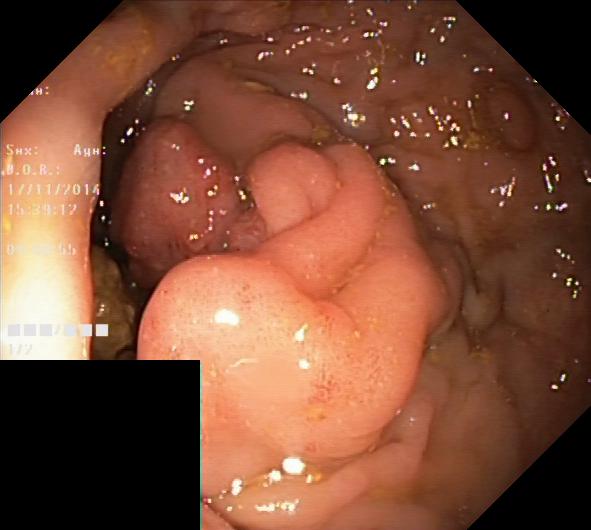Lower-GI endoscopy. Tract: lower GI tract. Pathological finding. Finding: colorectal polyp(s).